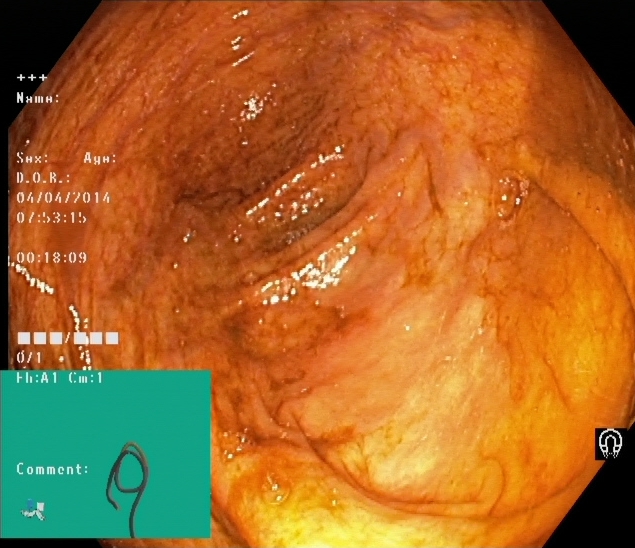Lower gastrointestinal endoscopy. Tract: lower GI tract. Anatomical landmark. Finding: cecum.